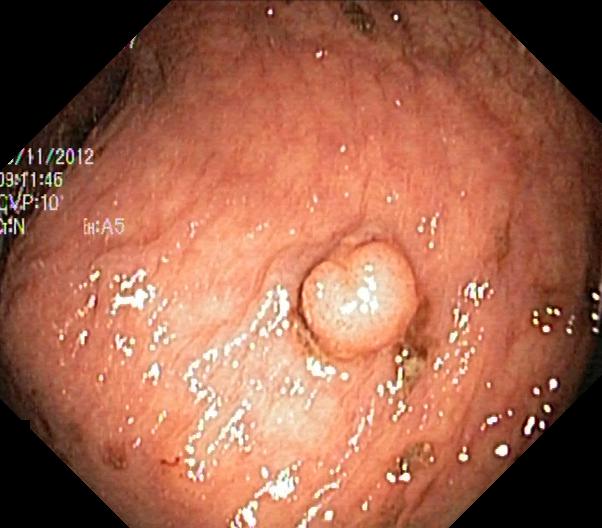{"modality": "colonoscopy", "tract": "lower GI tract", "category": "pathological finding", "finding": "colorectal polyp(s)"}